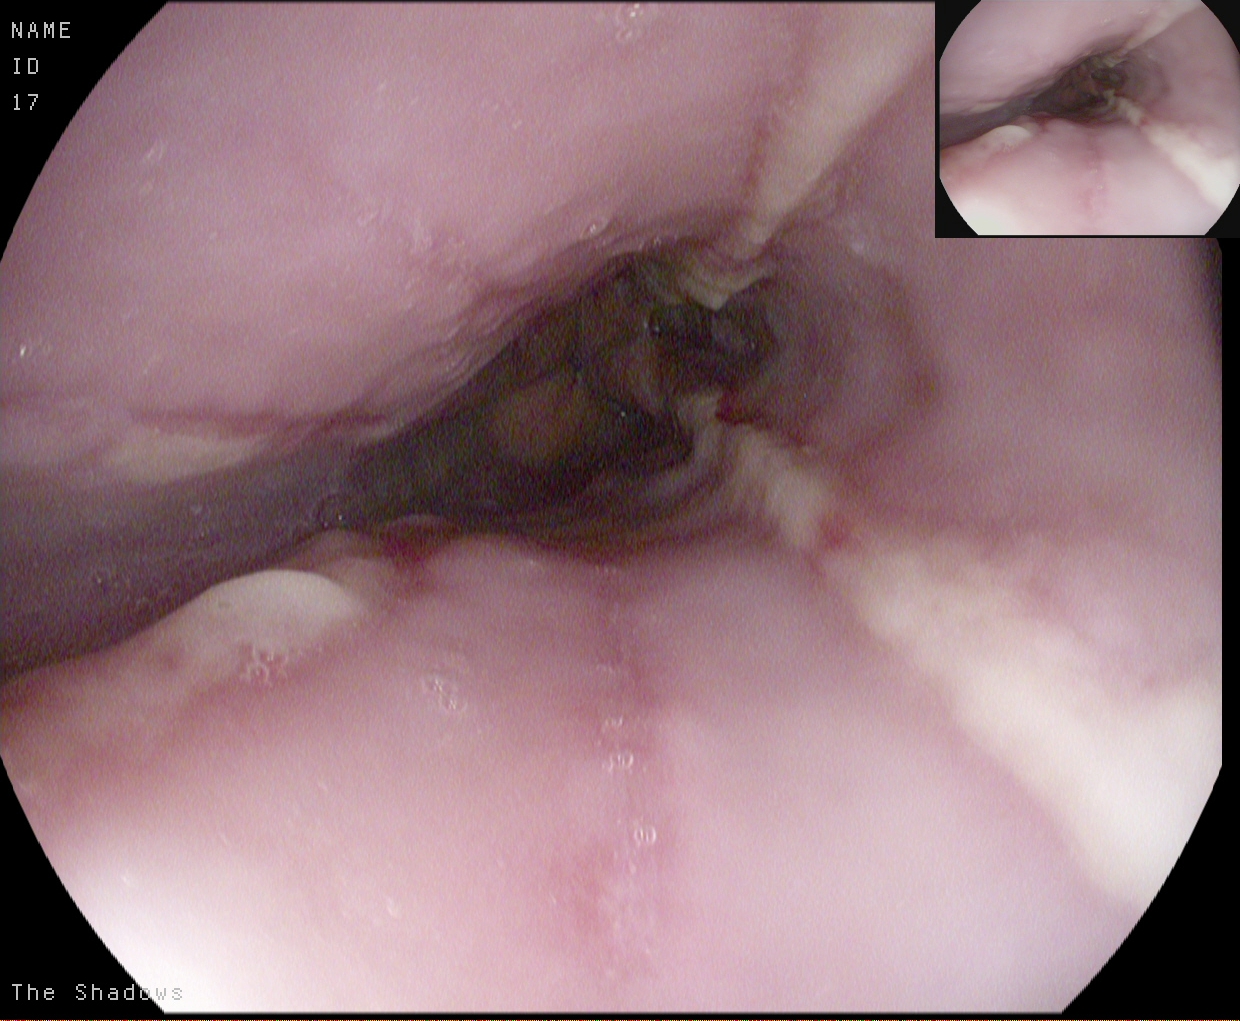This endoscopic image shows reflux esophagitis, Los Angeles grade B–D.